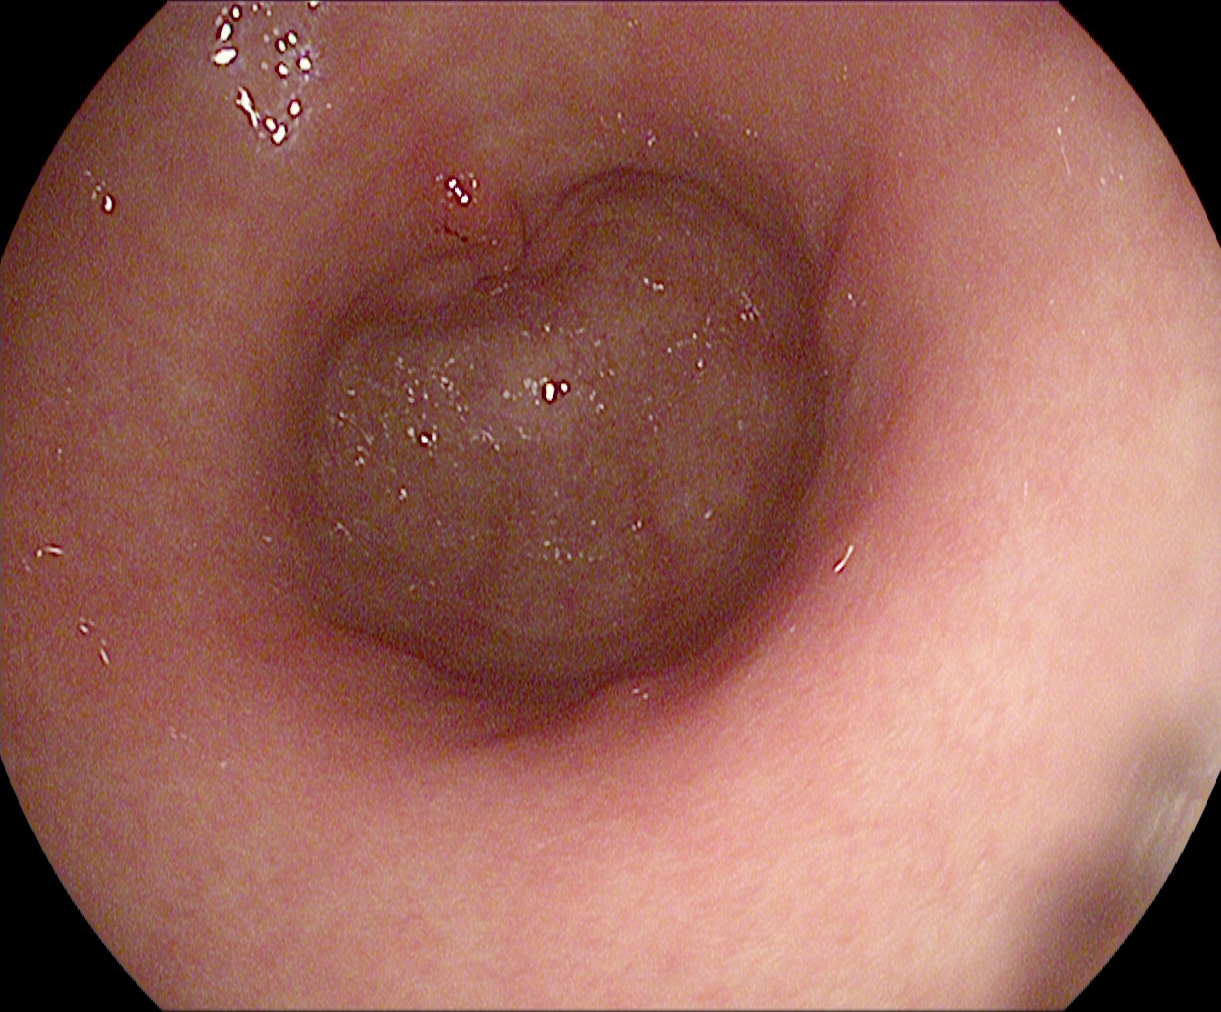Upper-GI endoscopy. Tract: upper GI tract. Anatomical landmark. Finding: pylorus.